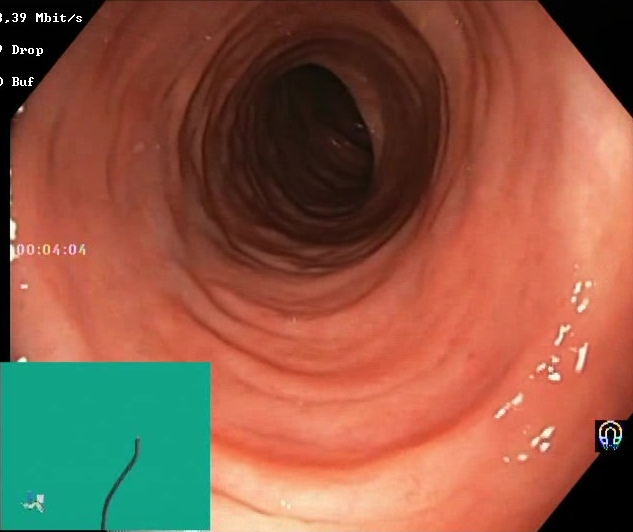BBPS score 2–3 (adequate preparation).